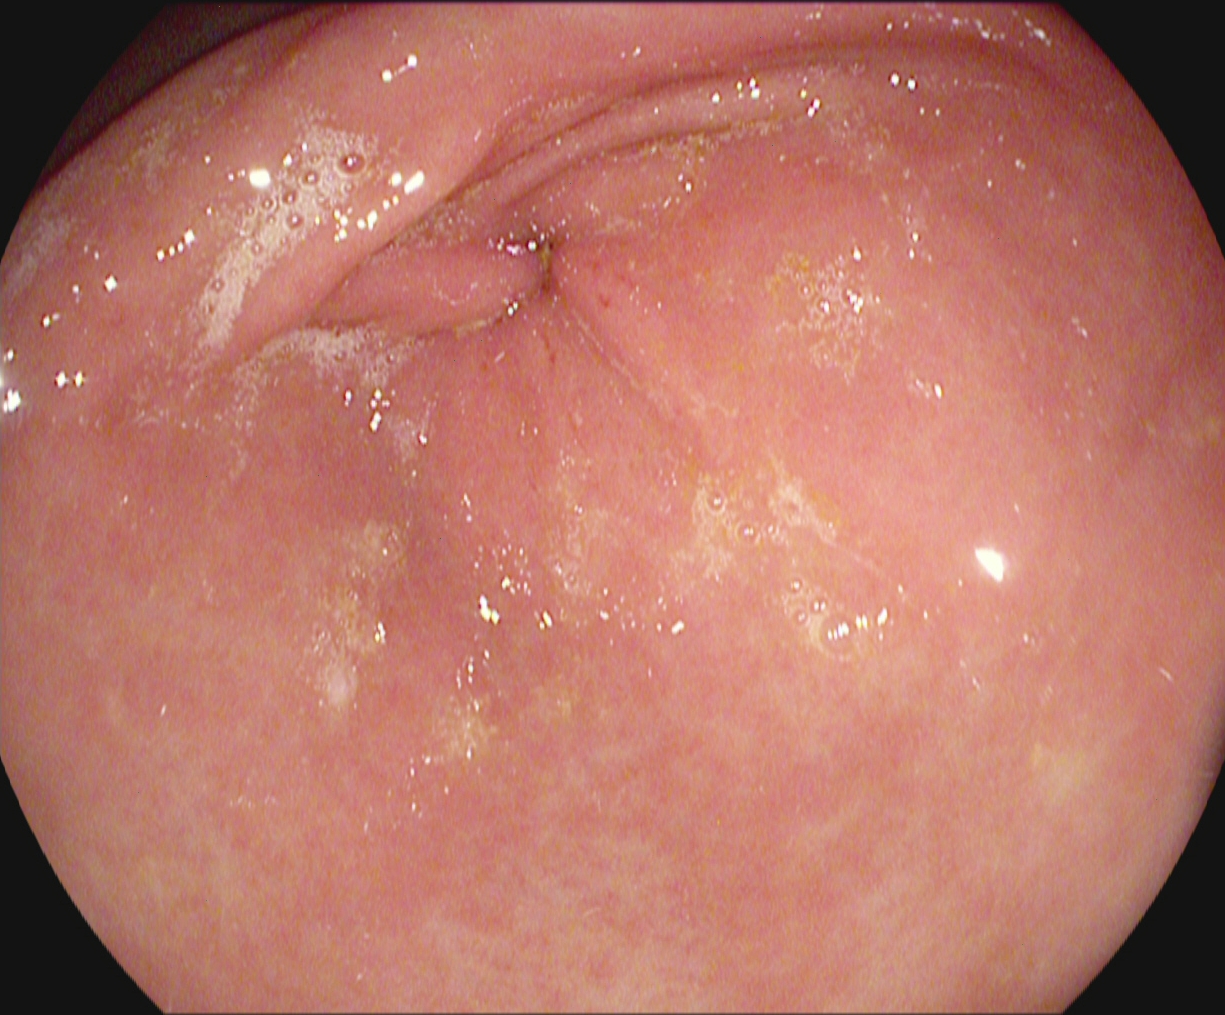This endoscopy frame shows pylorus.